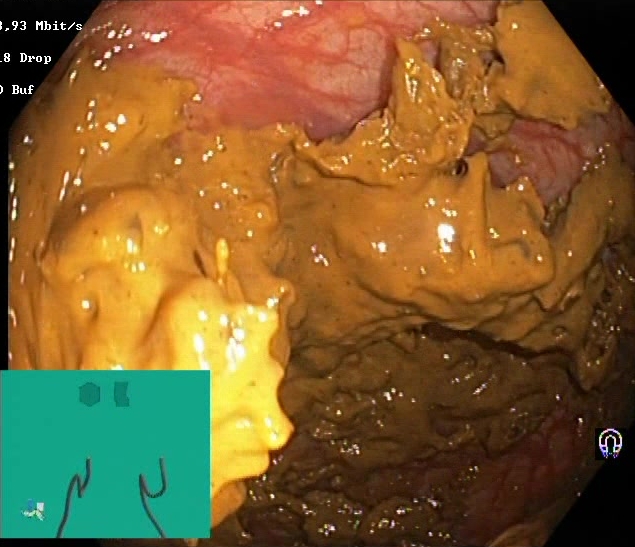This endoscopy frame of the lower GI tract shows Boston Bowel Preparation Scale score 0–1 (inadequate preparation).